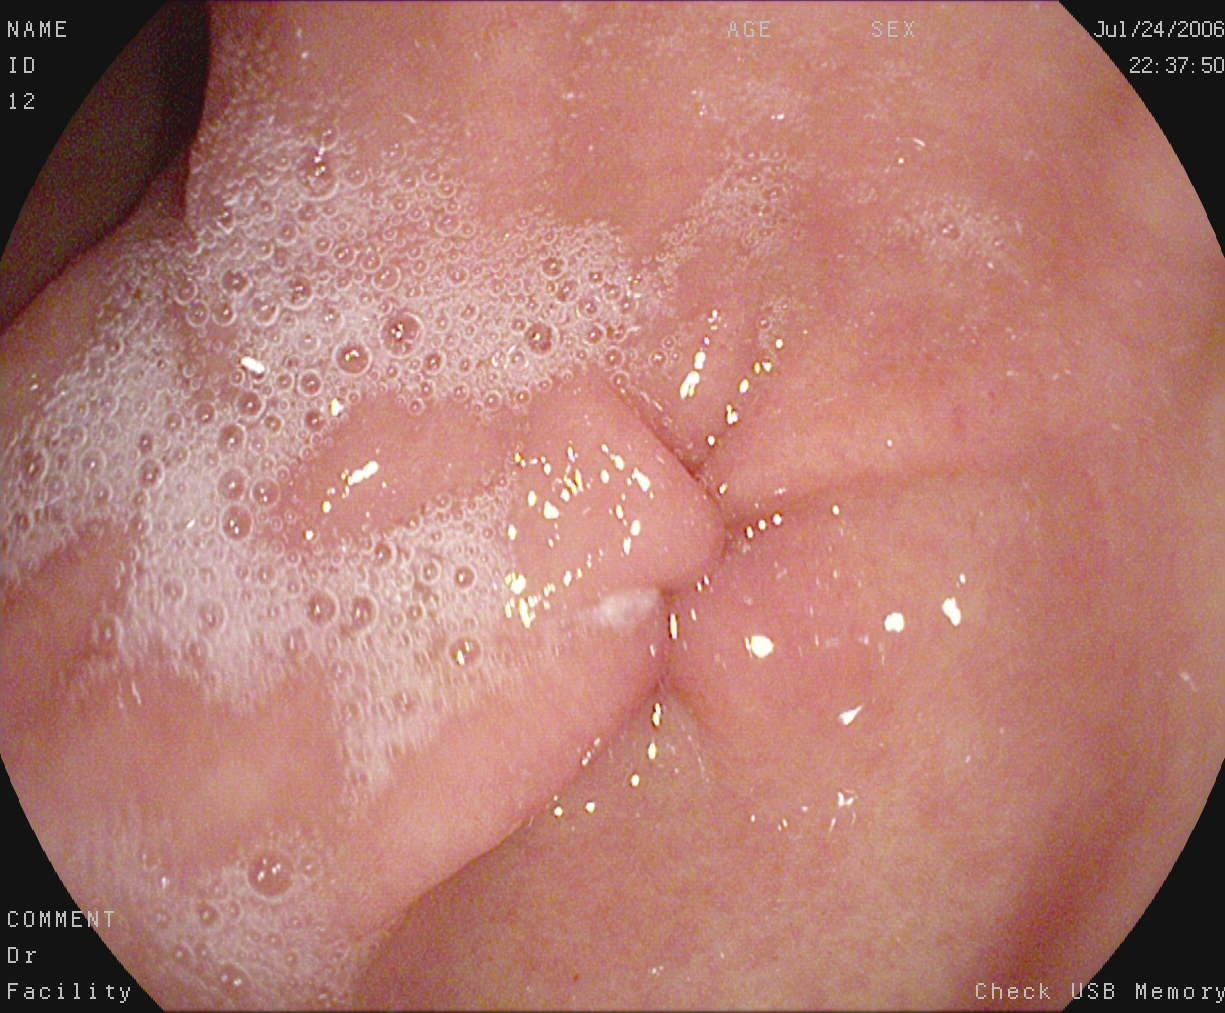Pylorus.